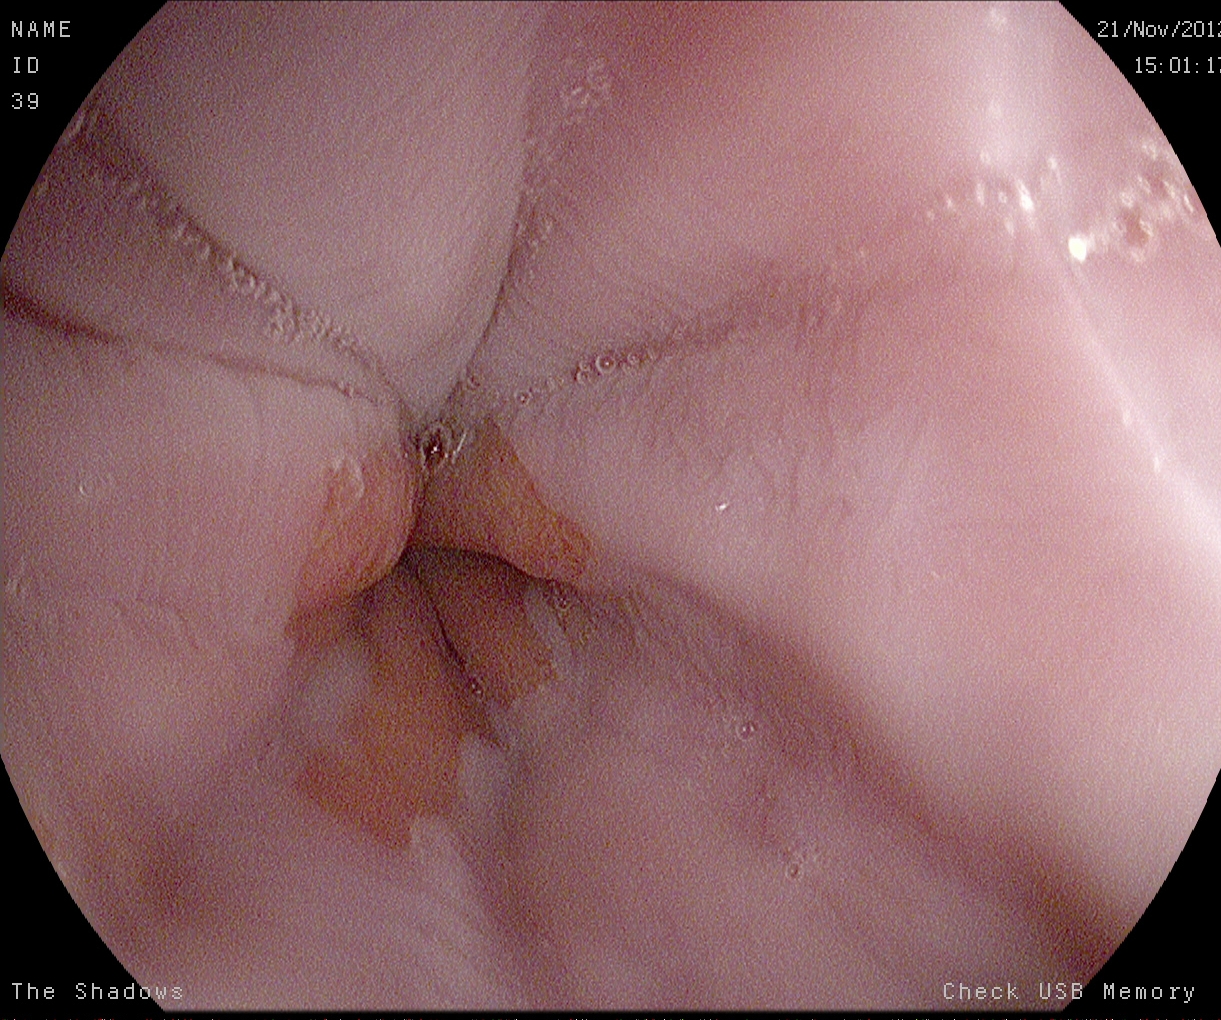This endoscopic image shows Z-line (gastroesophageal junction).